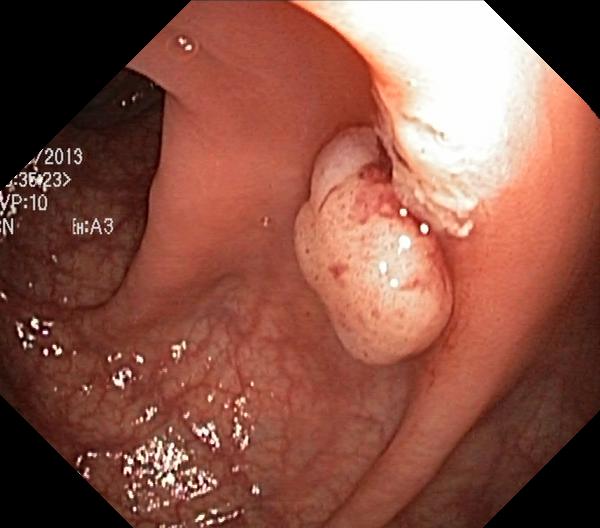{"modality": "colonoscopy", "tract": "lower GI tract", "finding": "colorectal polyp(s)"}